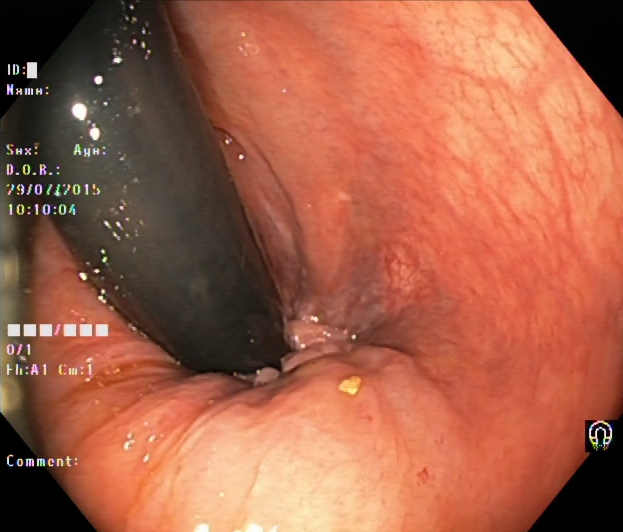Rectum in retroflexion.